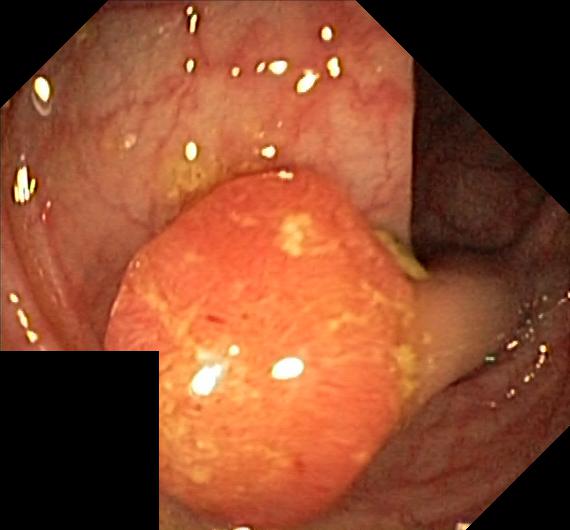Colorectal polyp(s).